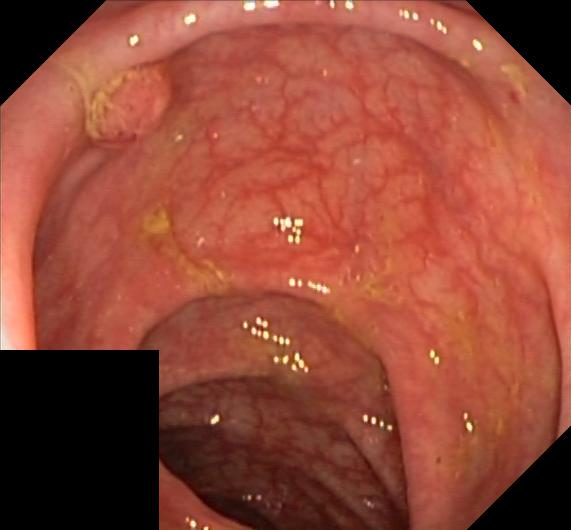PROCEDURE: Lower-GI endoscopy.
FINDINGS: Colorectal polyp(s).